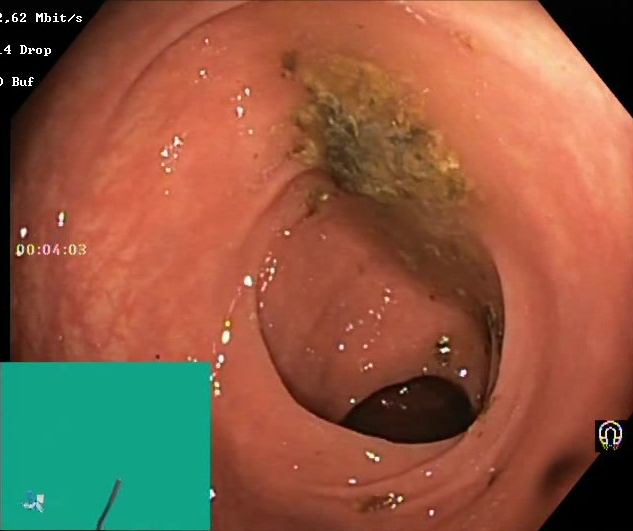PROCEDURE: Lower gastrointestinal endoscopy.
FINDINGS: Boston Bowel Preparation Scale score 0–1 (inadequate preparation).